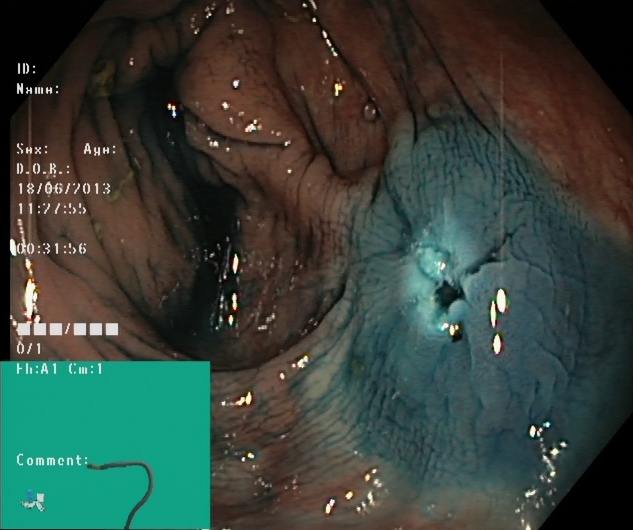This endoscopy frame shows dyed resection margins (post-polypectomy).